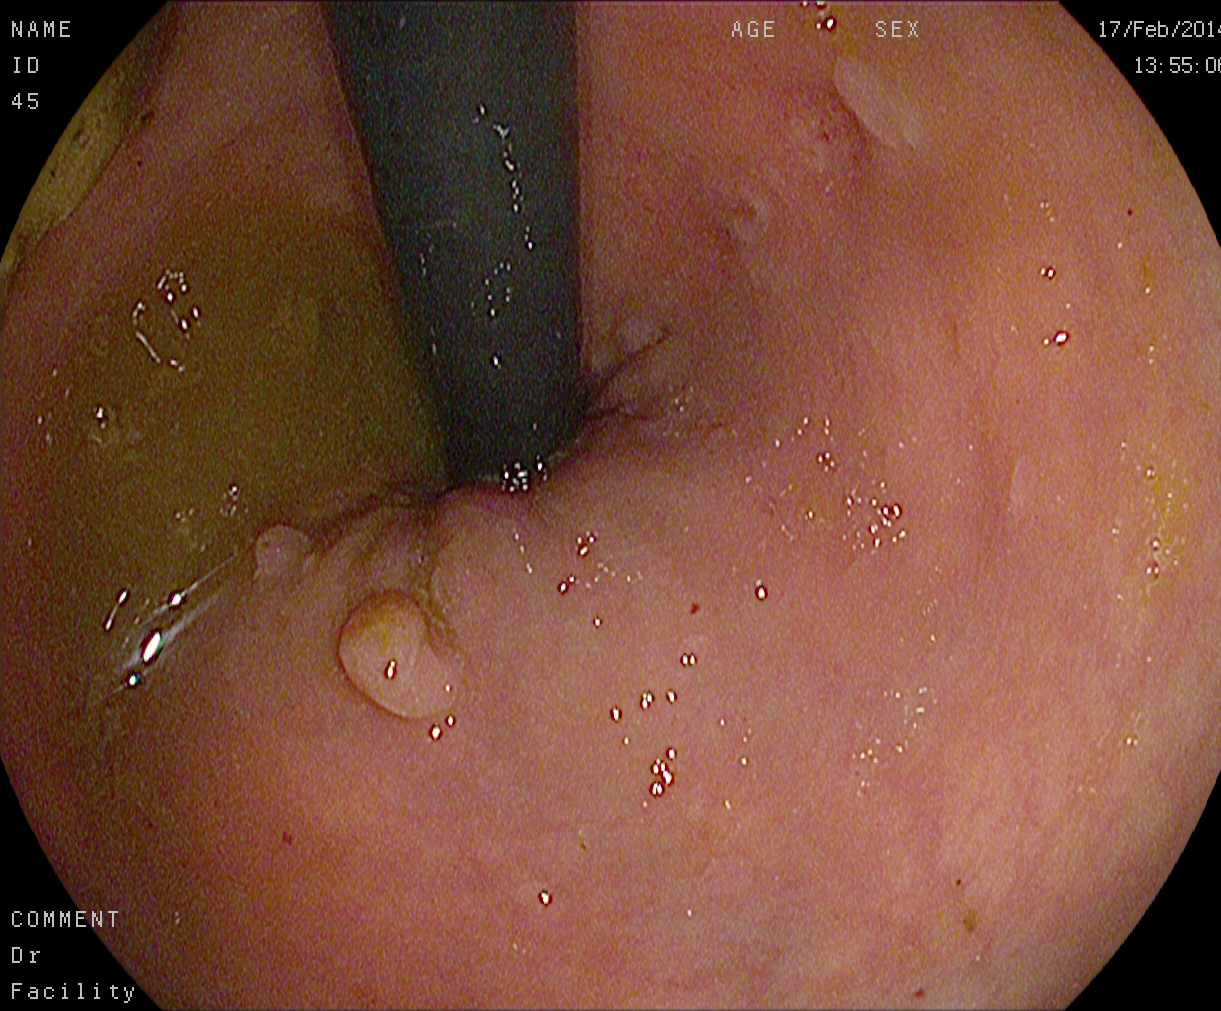Lower-GI endoscopy — colorectal polyp(s).